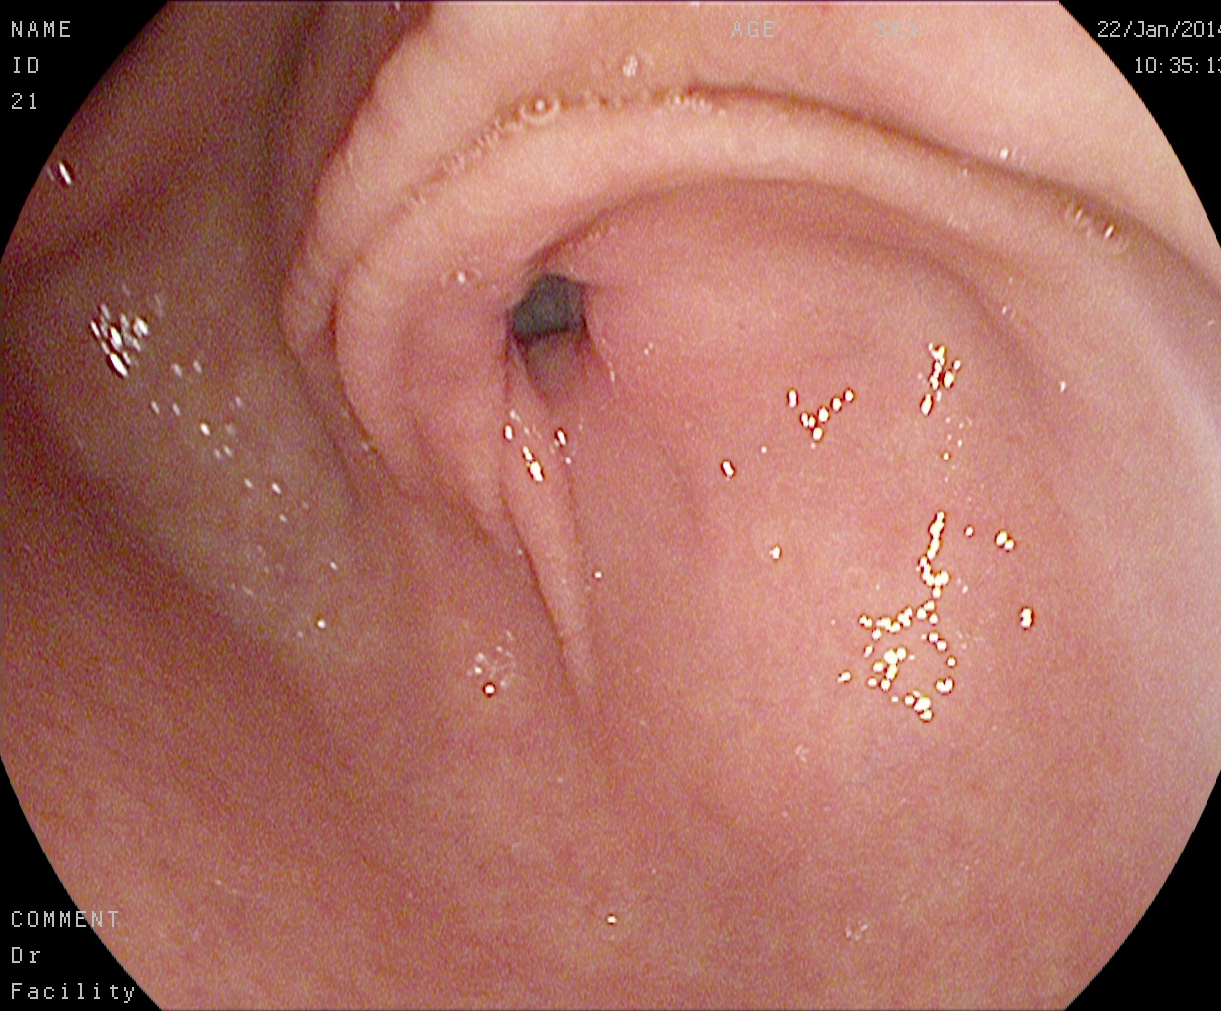pylorus.